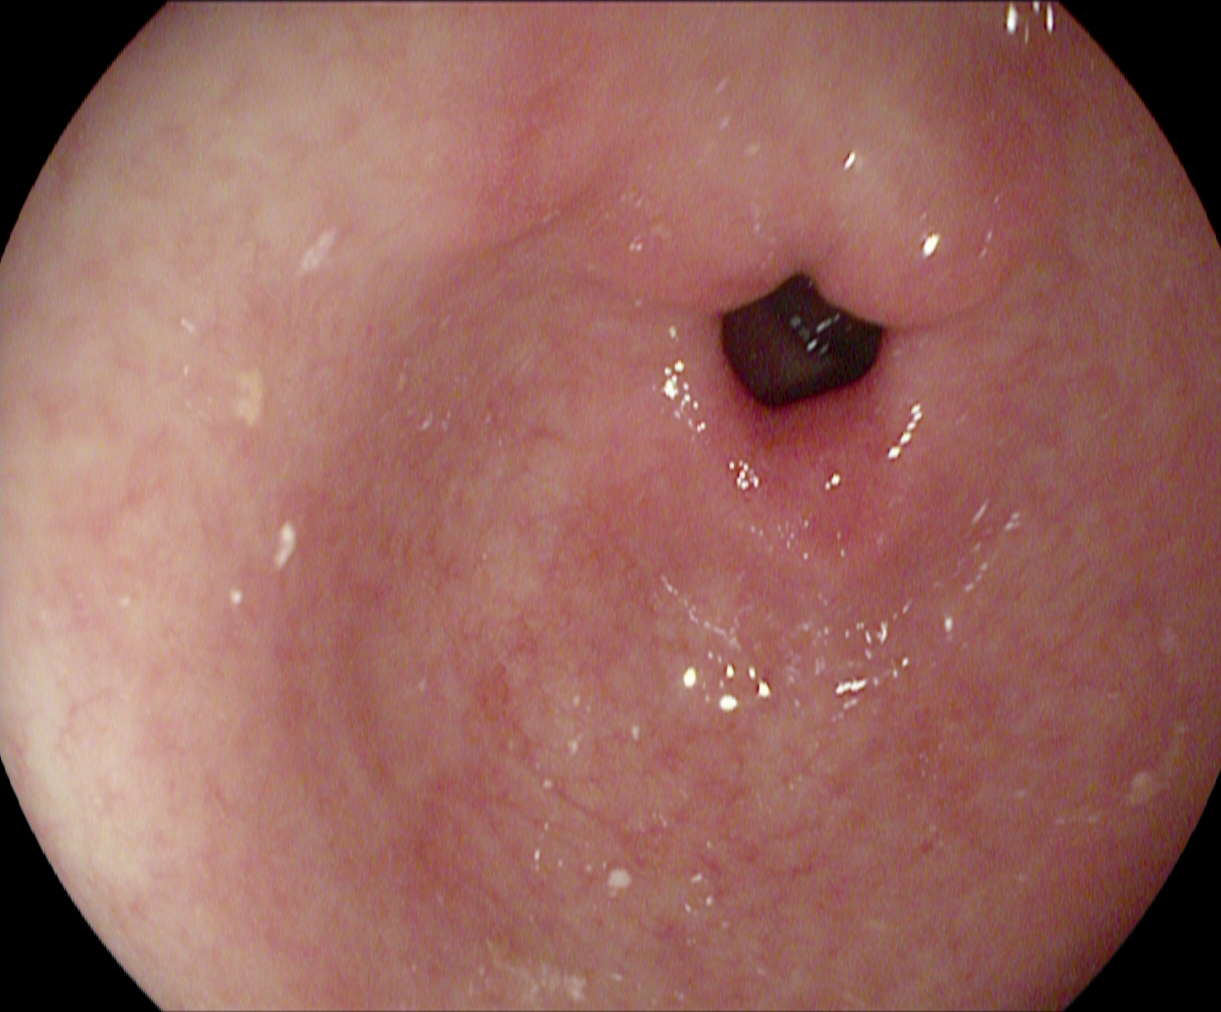modality: EGD; category: anatomical landmark; finding: pylorus